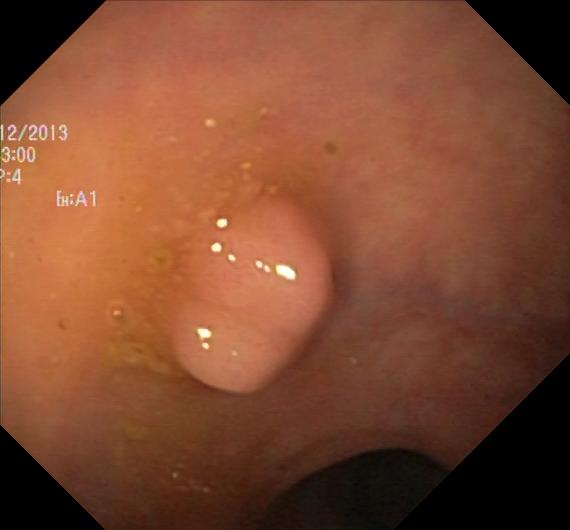Colorectal polyp(s).